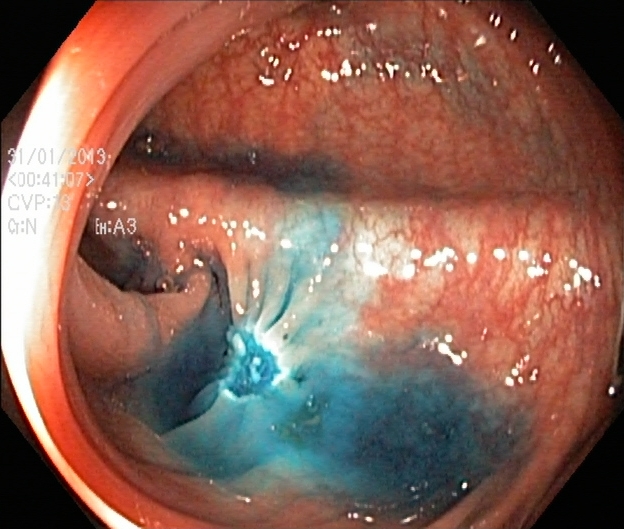Colonoscopy — dyed resection margins (post-polypectomy).